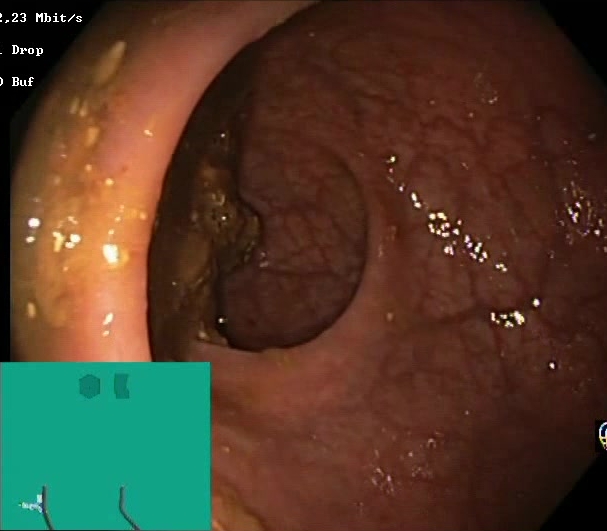Colonoscopy image showing Boston Bowel Preparation Scale score 0–1 (inadequate preparation).